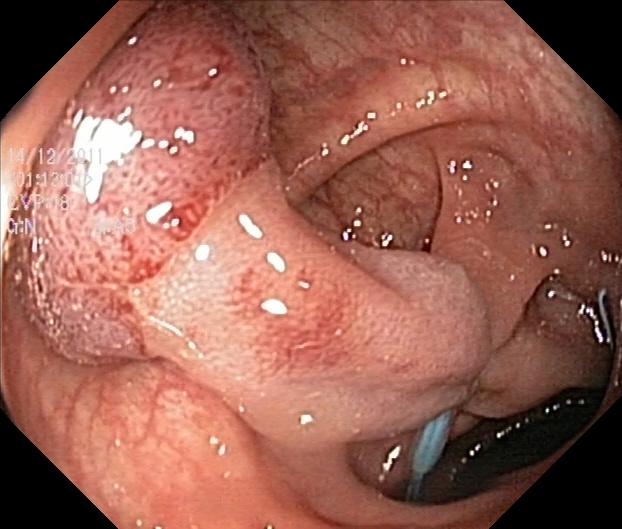This endoscopic image of the lower GI tract shows colorectal polyp(s).